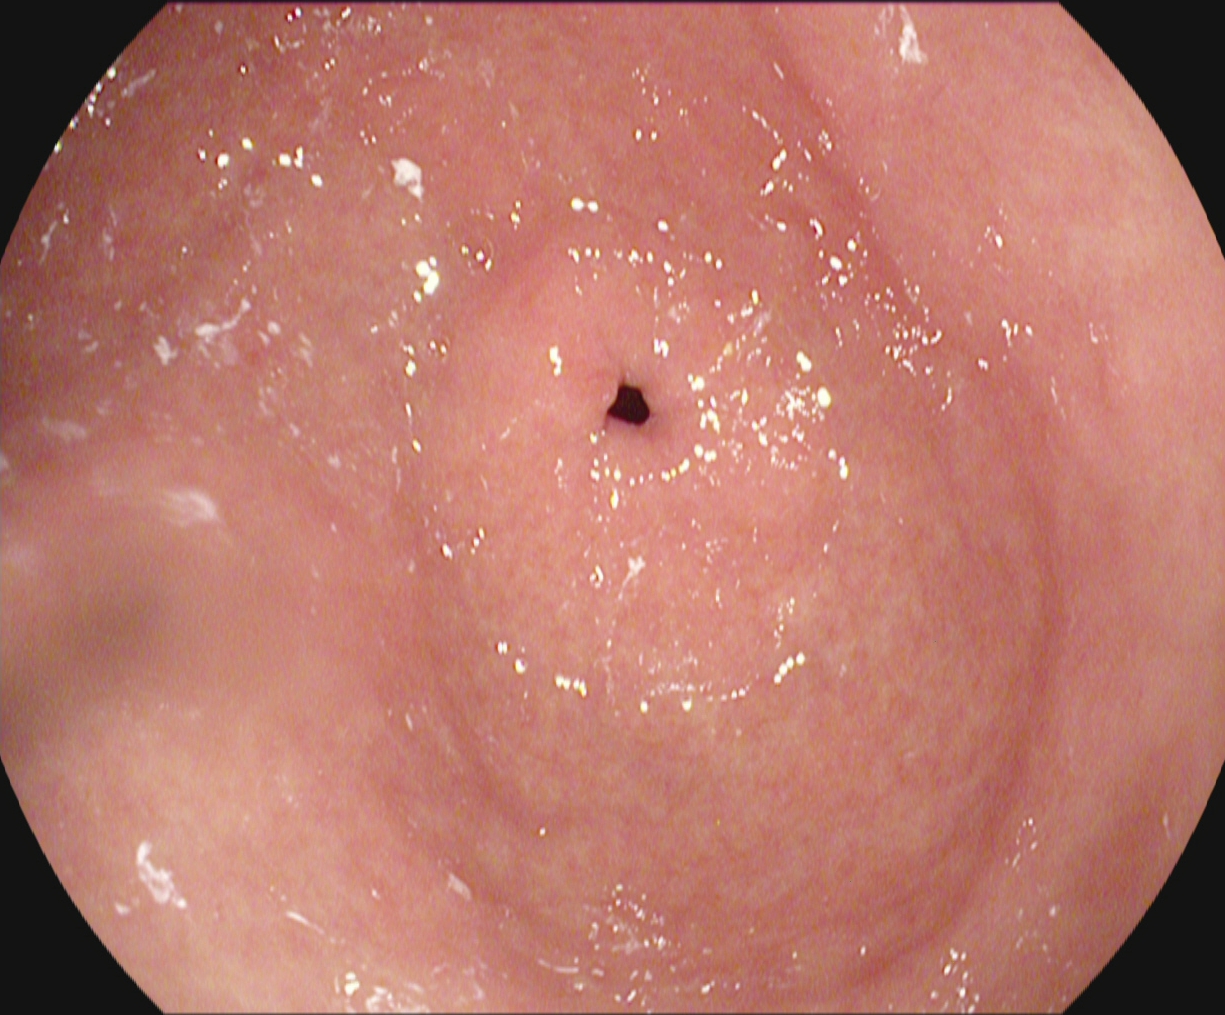Gastroscopy. Anatomical landmark. Finding: pylorus.